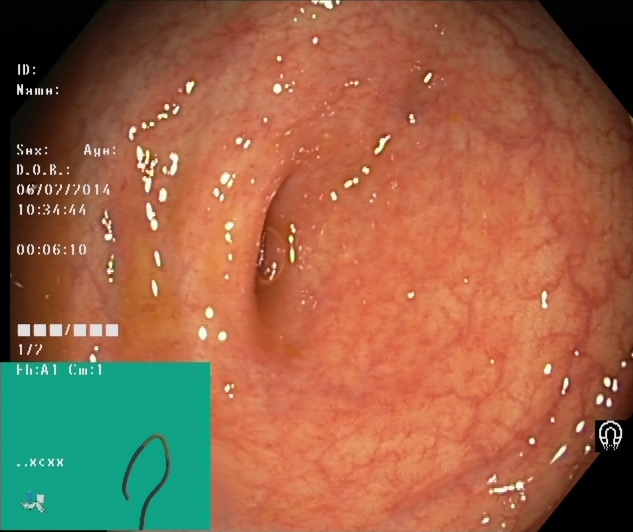This endoscopic image shows cecum.